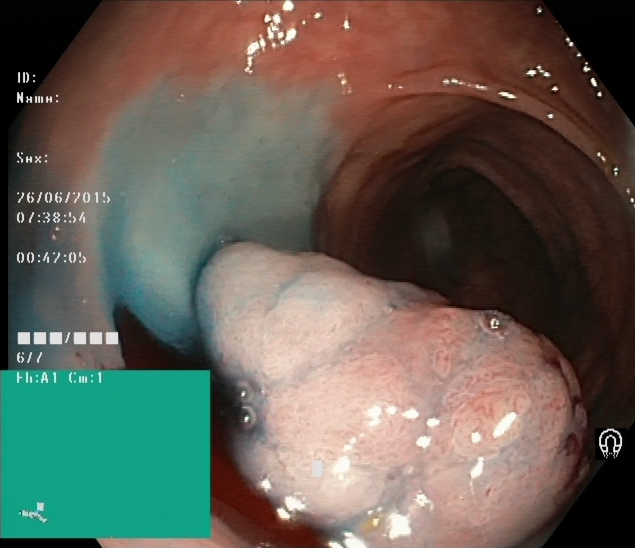Gastrointestinal endoscopy image of the lower GI tract showing dyed and lifted polyp (pre-resection).